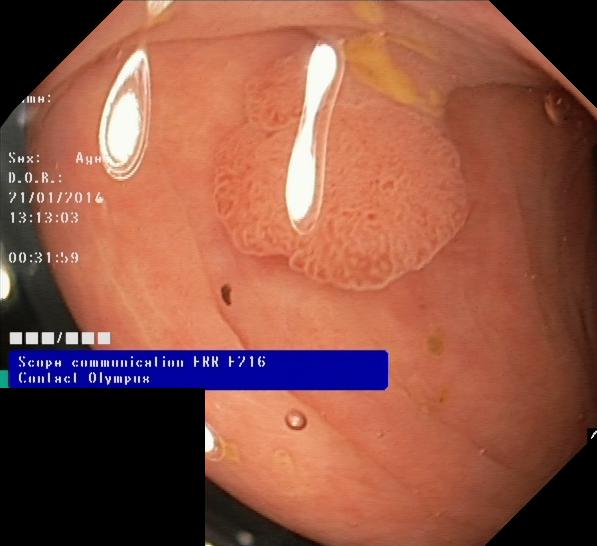colorectal polyp(s).